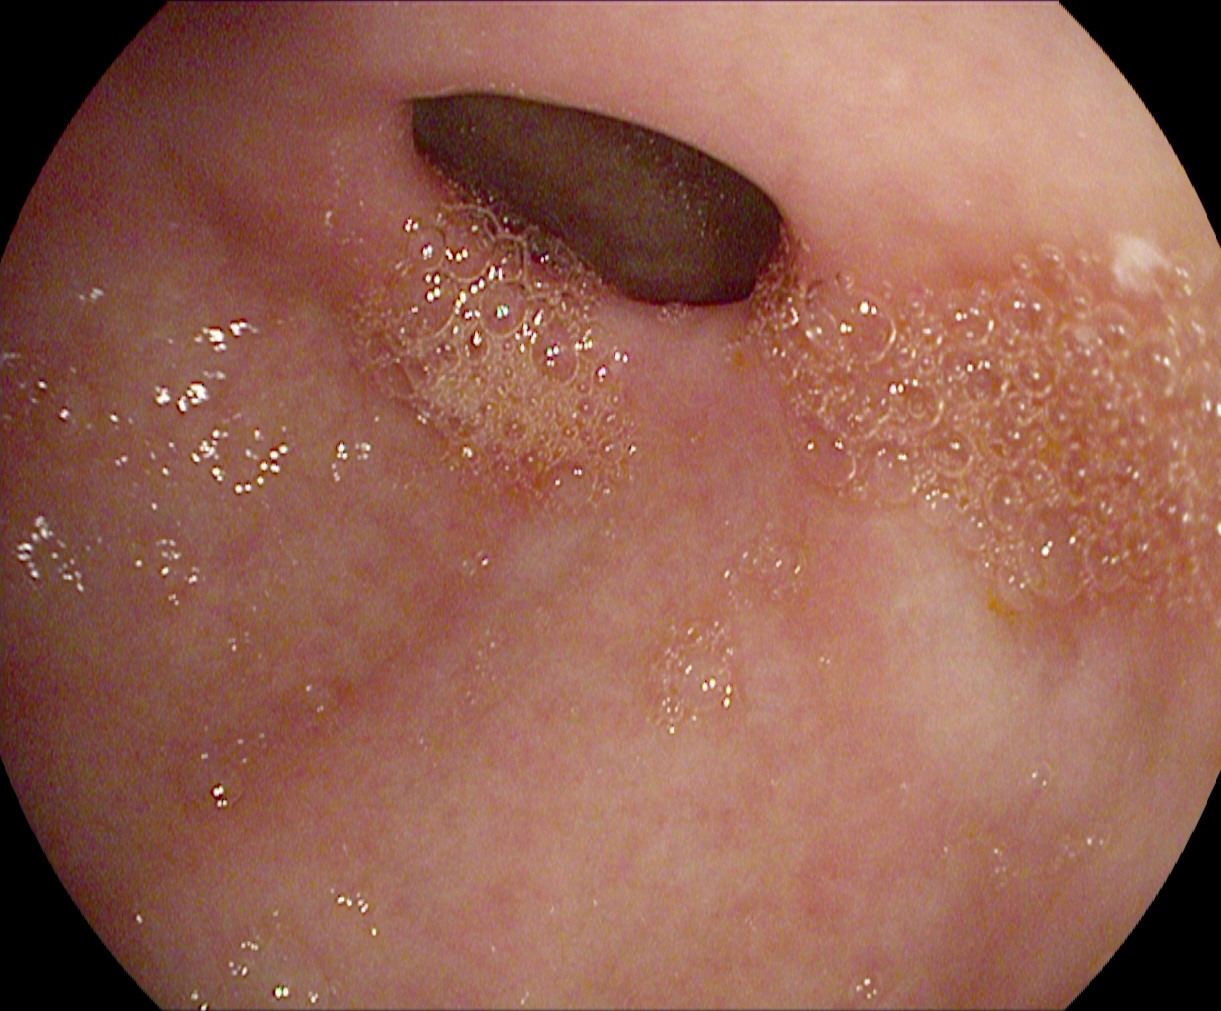Upper-GI endoscopy. Tract: upper GI tract. Anatomical landmark. Finding: pylorus.